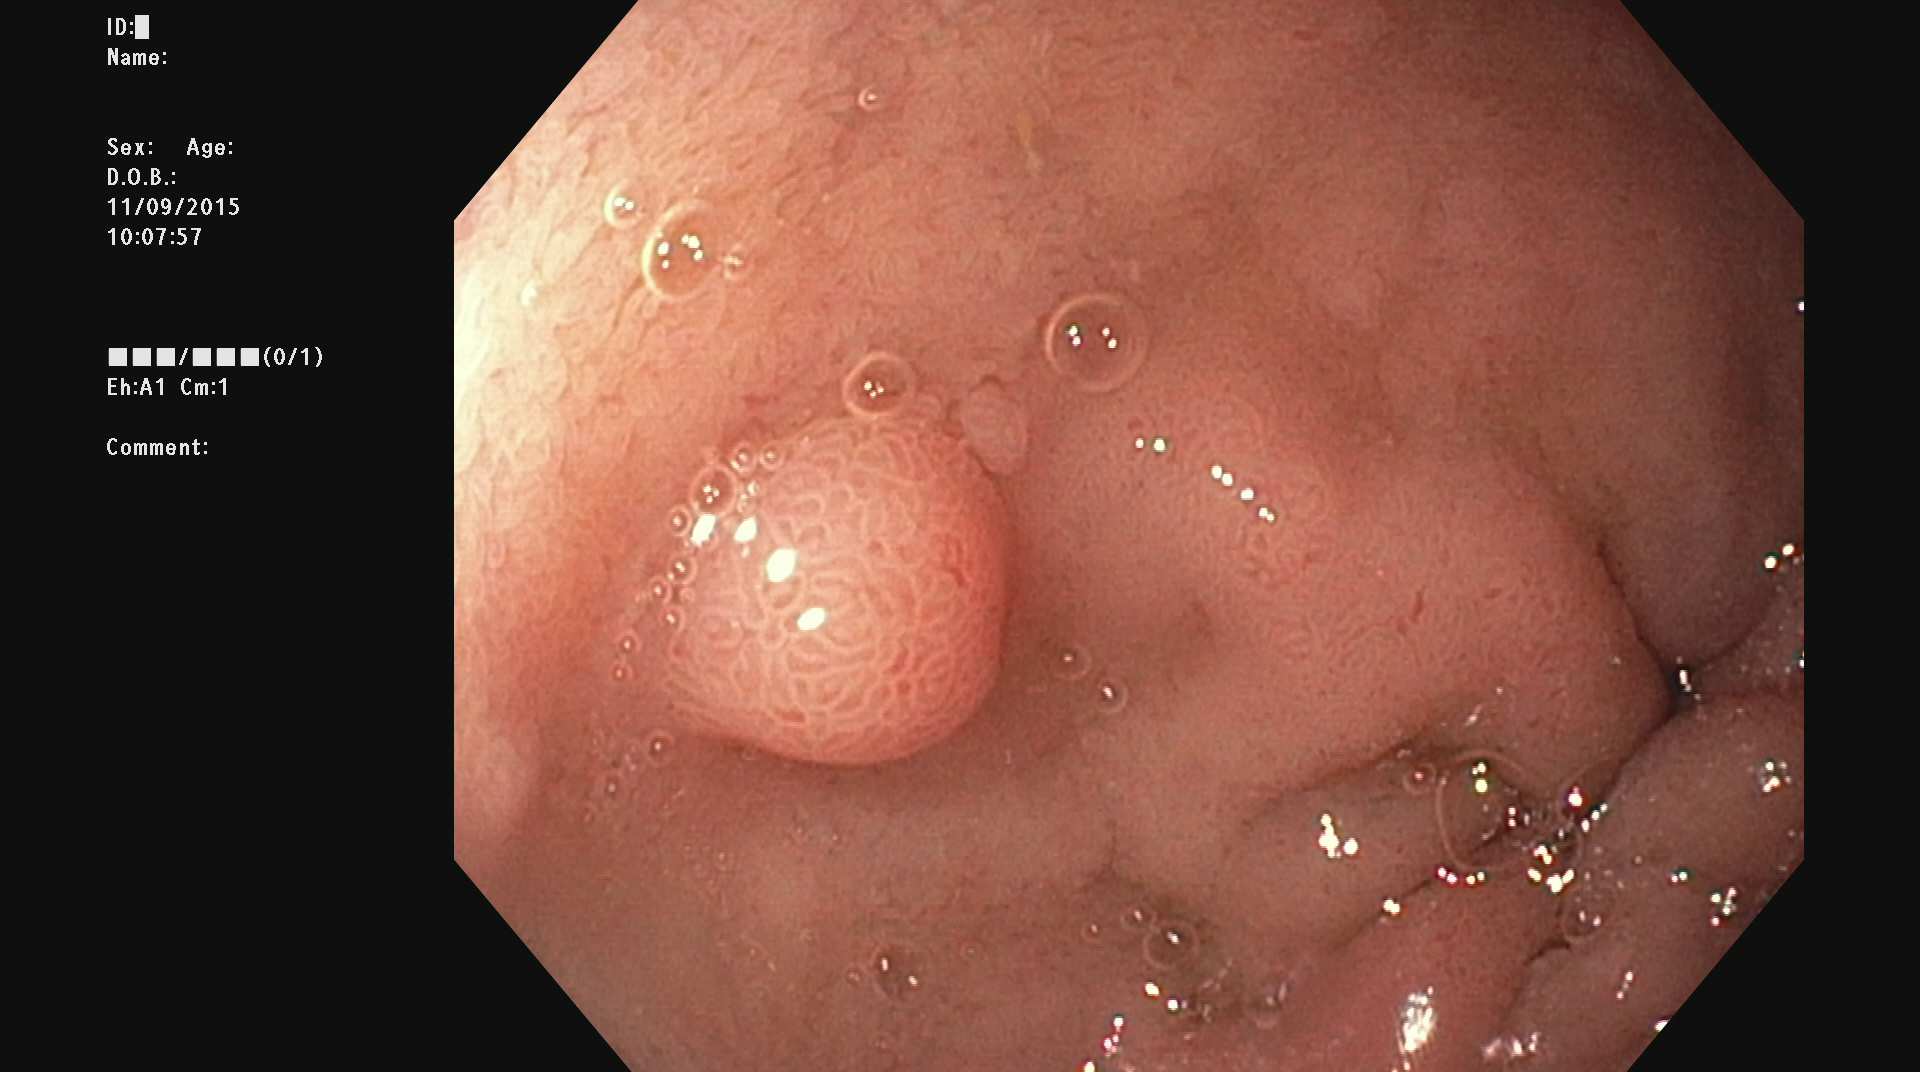Colonoscopy. Pathological finding. Finding: colorectal polyp(s).